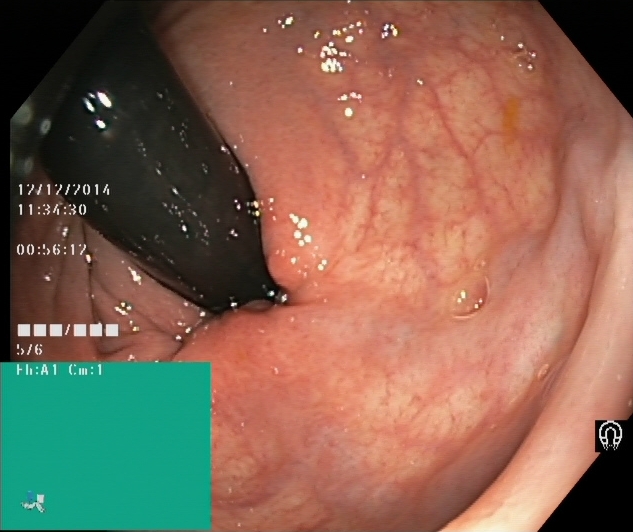This endoscopic image of the lower GI tract shows rectum in retroflexion.